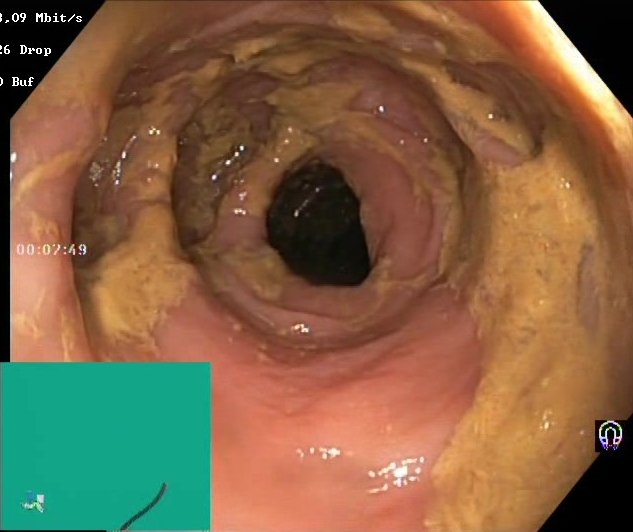Lower-GI endoscopy. Mucosal-view quality. Finding: BBPS score 0–1 (inadequate preparation).